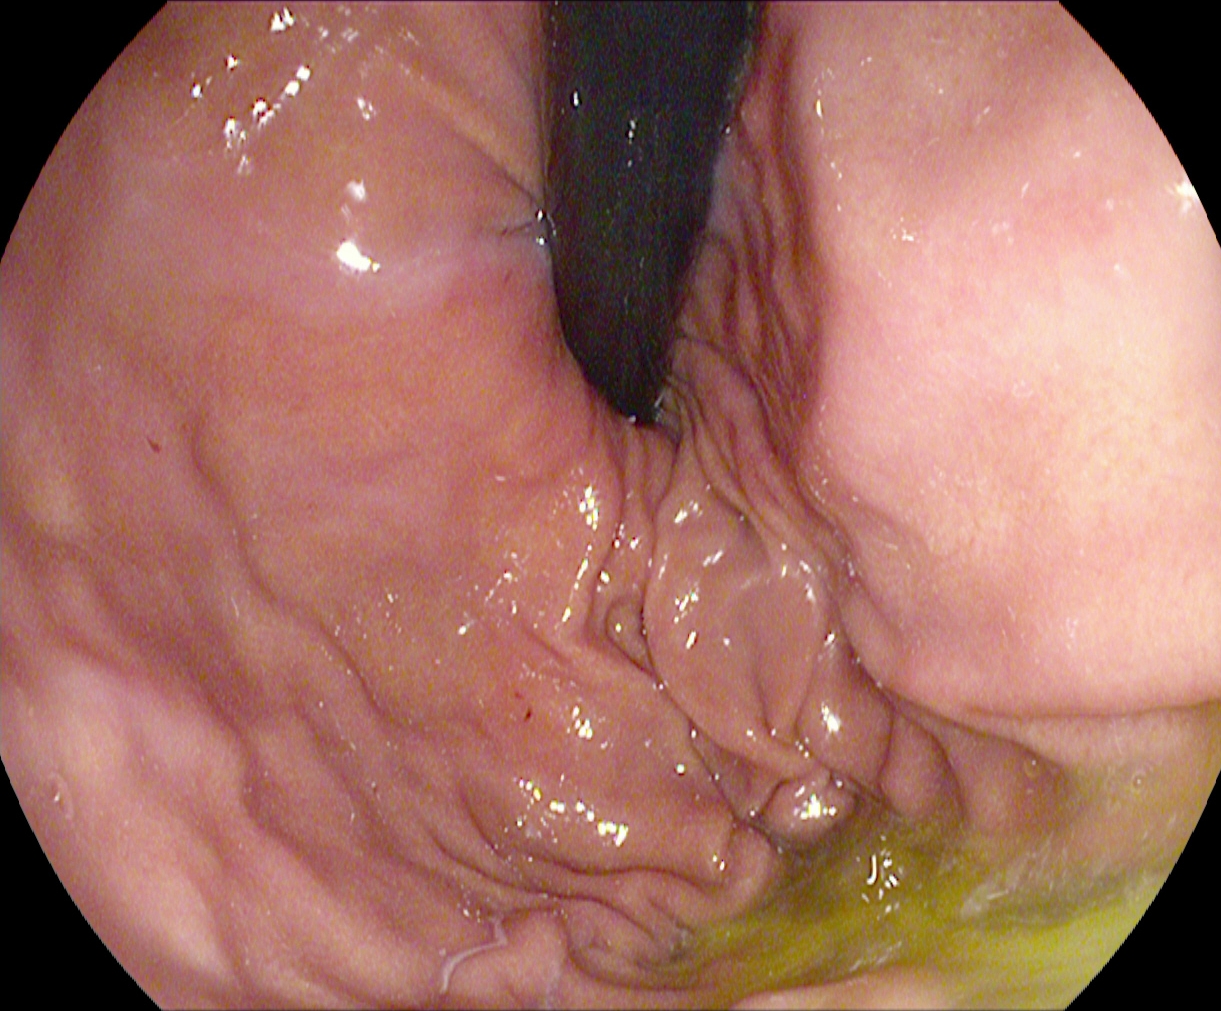{"modality": "gastroscopy", "tract": "upper GI tract", "finding": "stomach in retroflexion"}